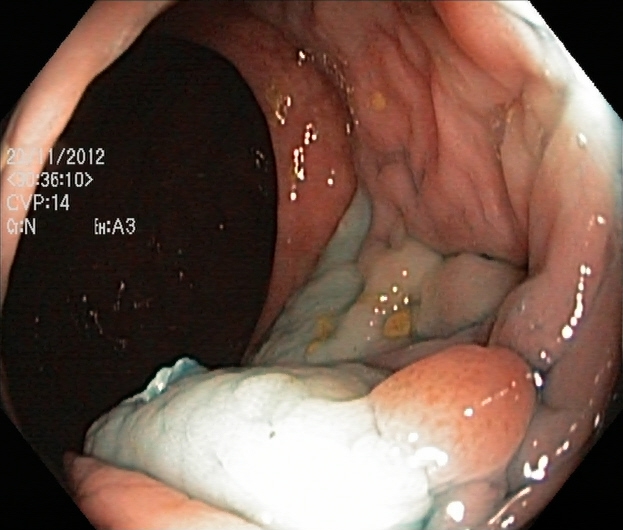{"modality": "colonoscopy", "tract": "lower GI tract", "finding": "dyed and lifted polyp (pre-resection)"}